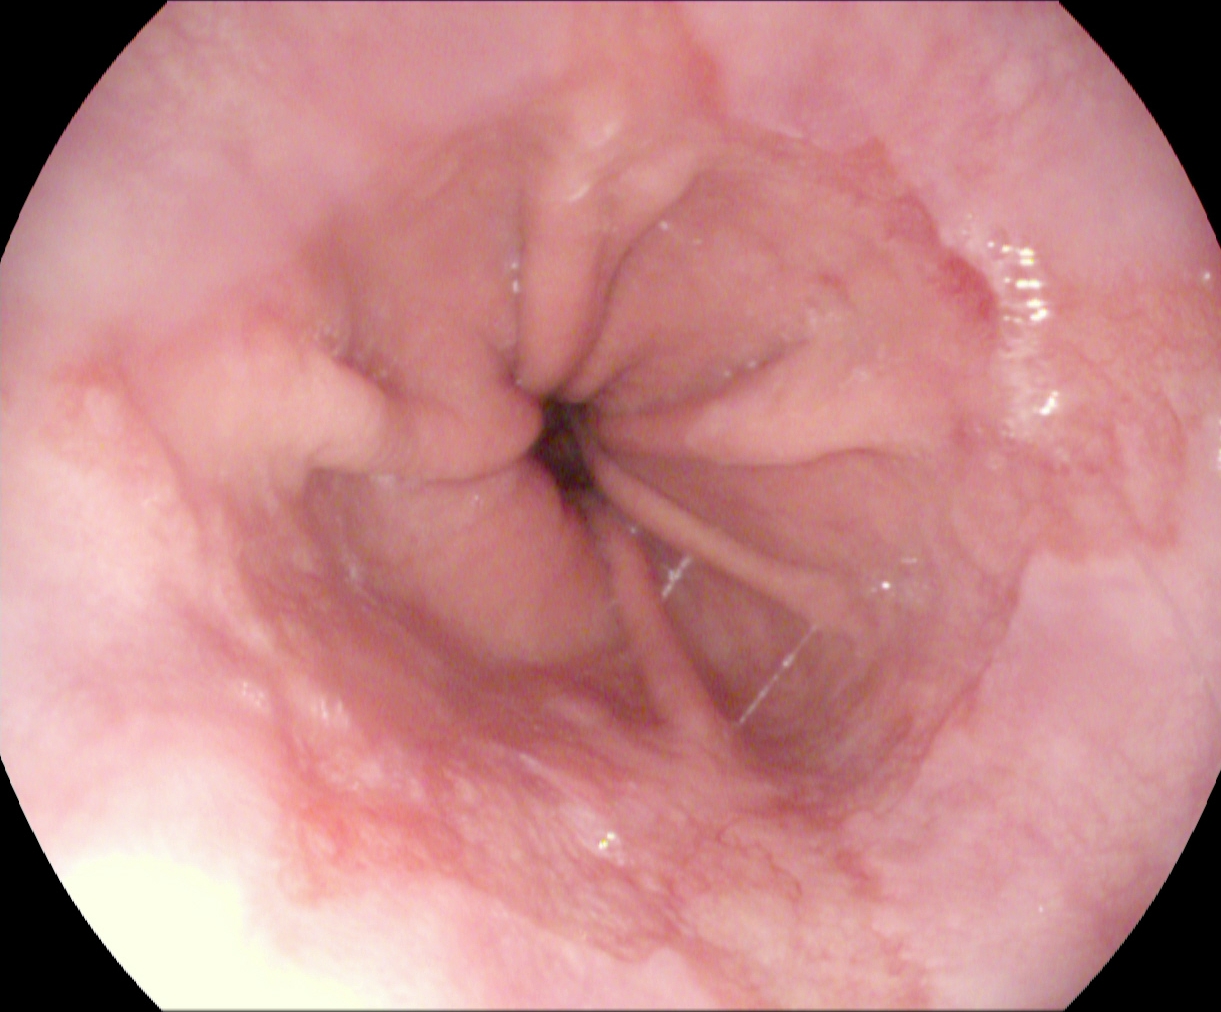Upper-GI endoscopy — Barrett's esophagus, short segment.